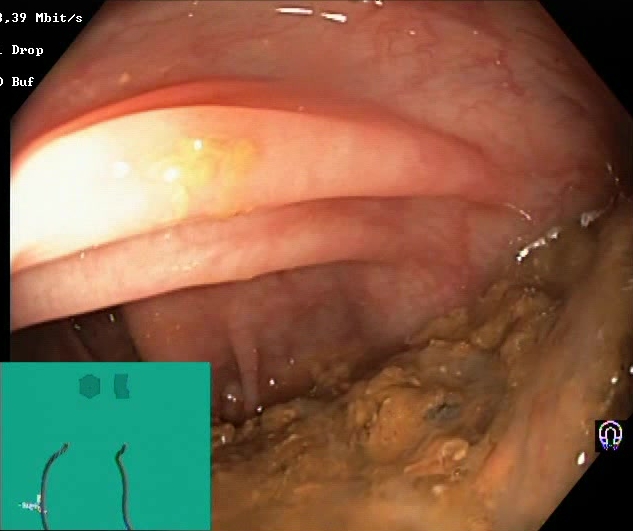This endoscopic image shows Boston Bowel Preparation Scale score 0–1 (inadequate preparation).